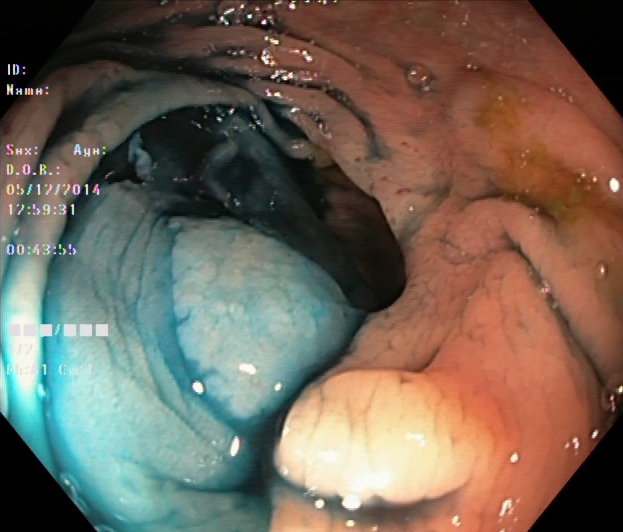Dyed and lifted polyp (pre-resection).